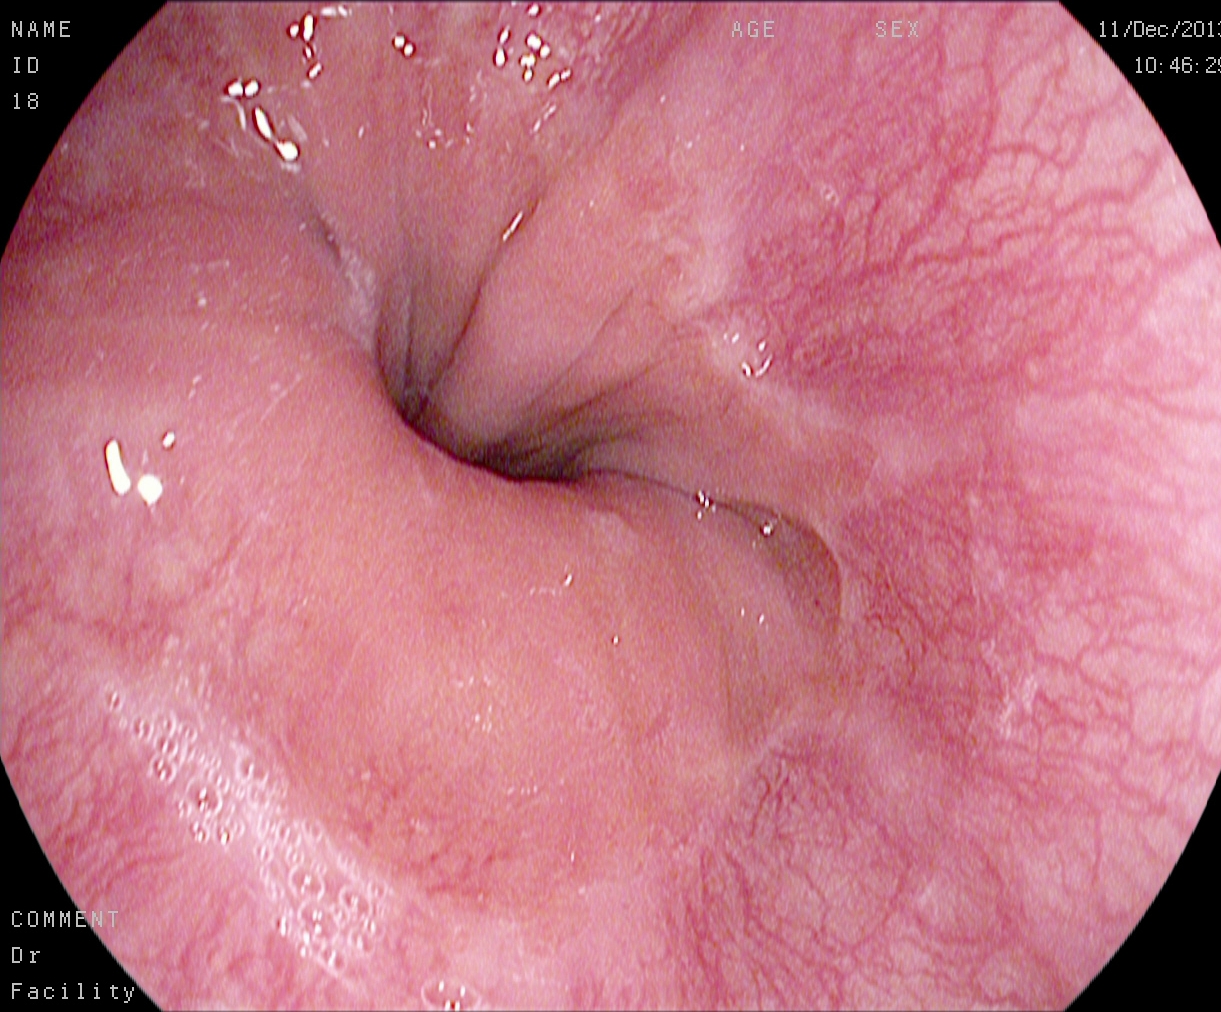Esophagogastroduodenoscopy — Z-line (gastroesophageal junction).